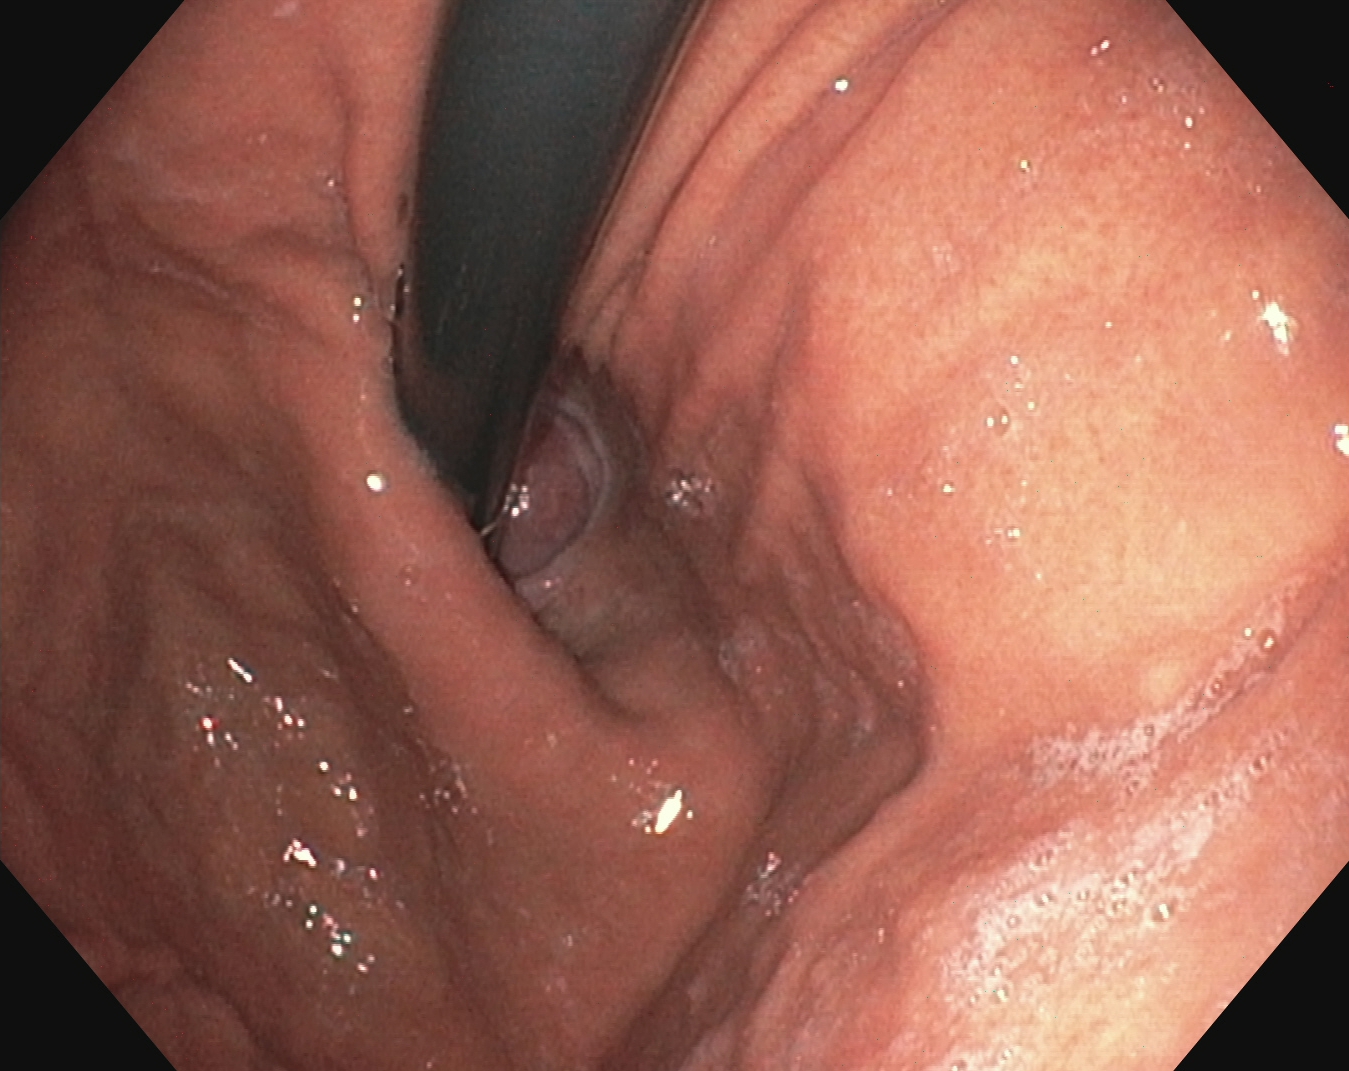Stomach in retroflexion.